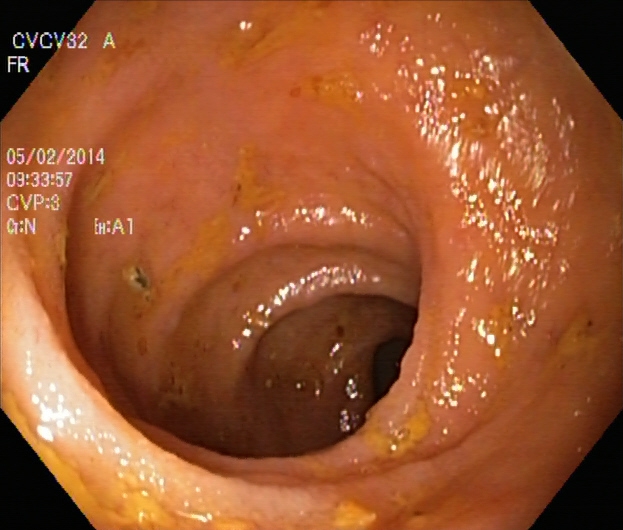This endoscopy frame shows UC, Mayo endoscopic subscore 2.